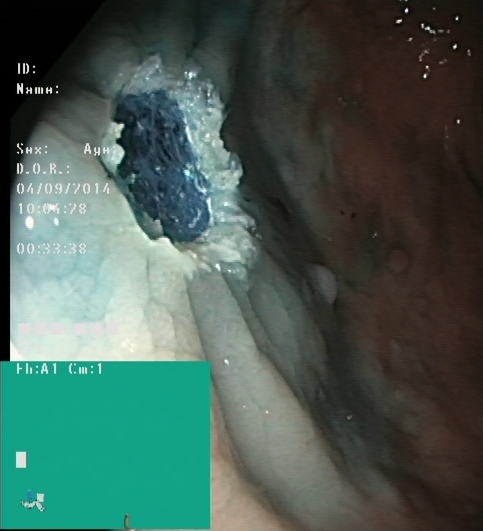Lower gastrointestinal endoscopy. Tract: lower GI tract. Finding: dyed resection margins (post-polypectomy).